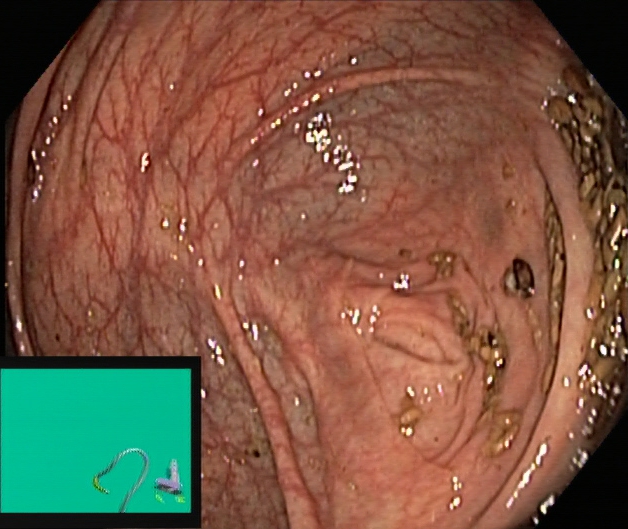Lower gastrointestinal endoscopy — cecum.